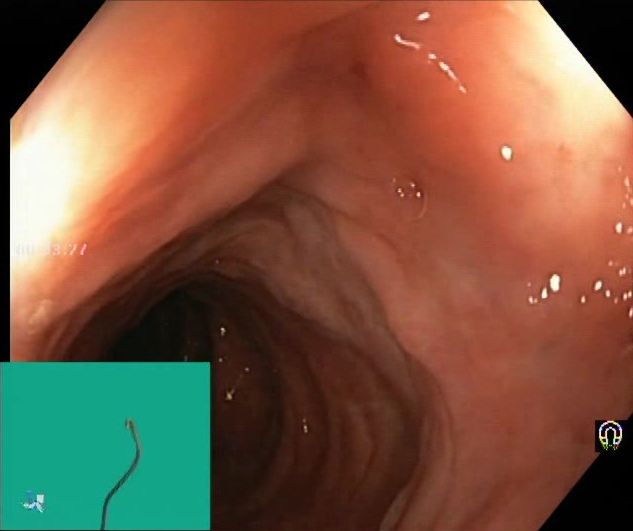This endoscopic image shows BBPS score 2–3 (adequate preparation).